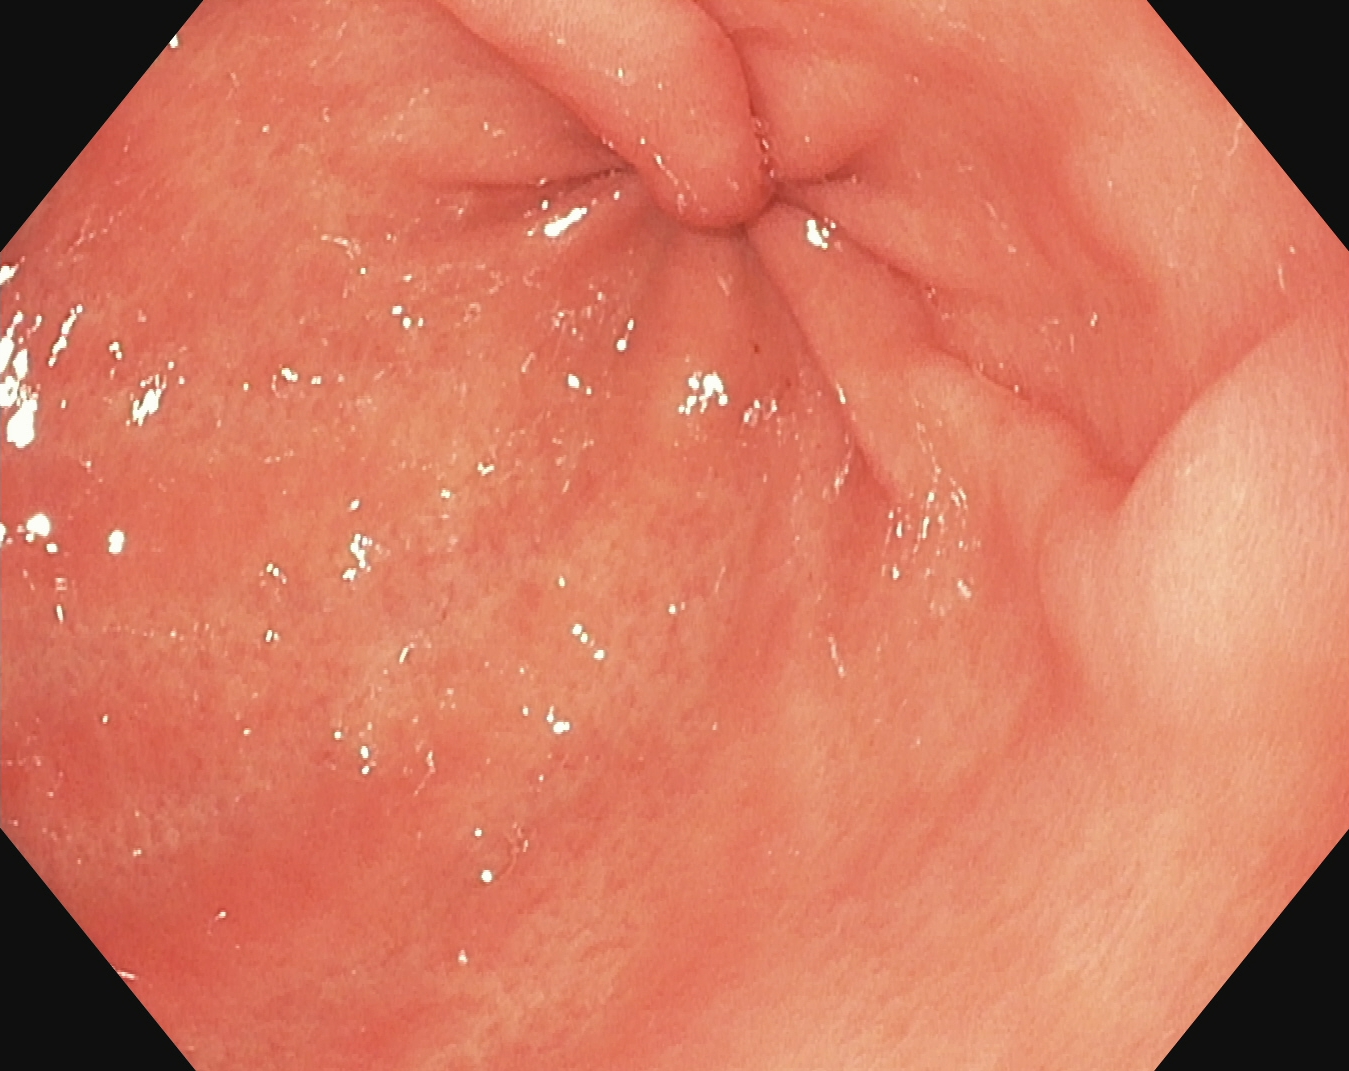Upper-GI endoscopy image of the upper GI tract showing pylorus.